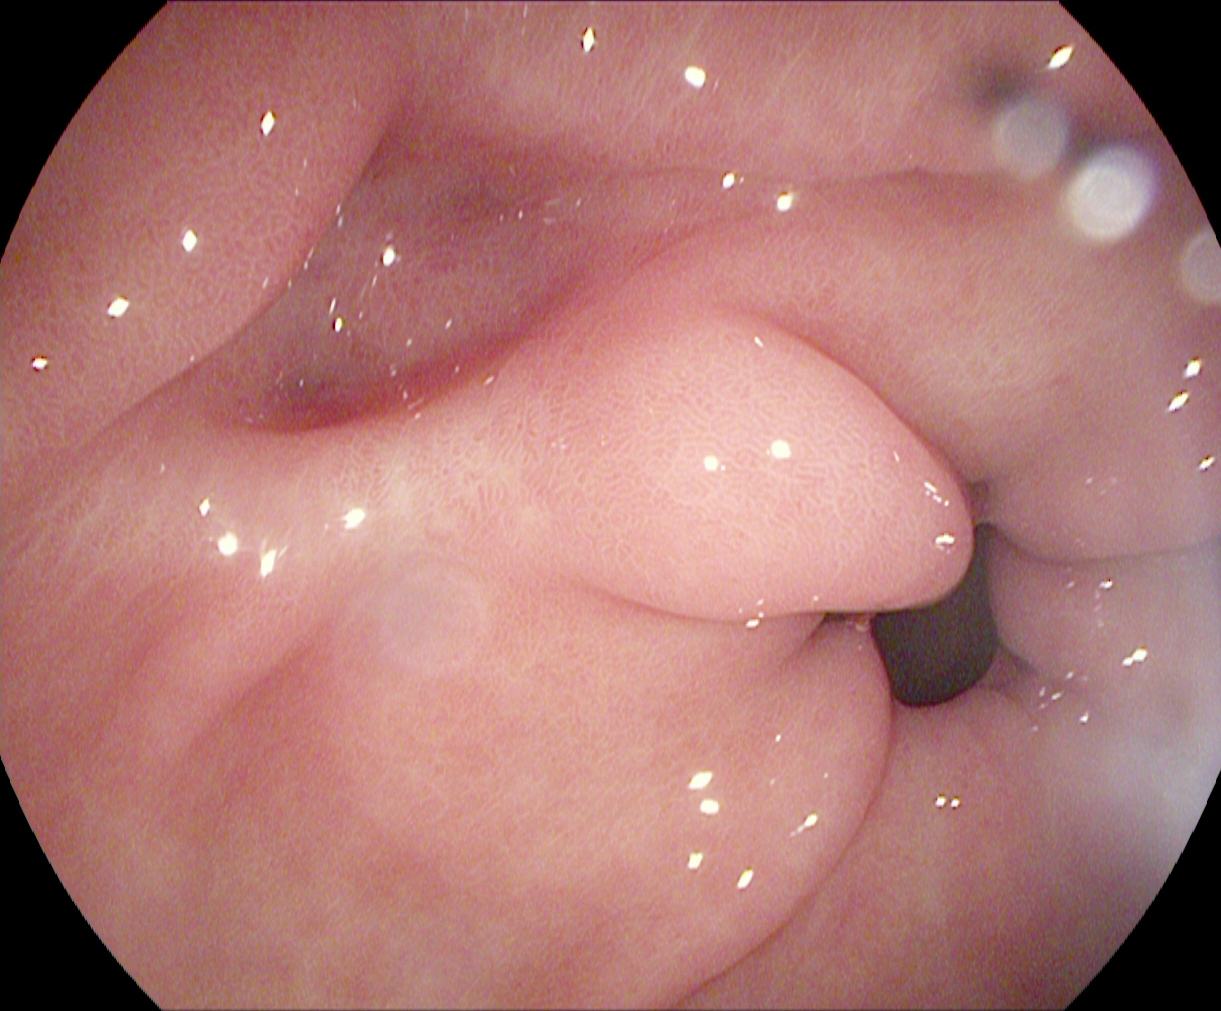This endoscopy frame of the upper GI tract shows pylorus.